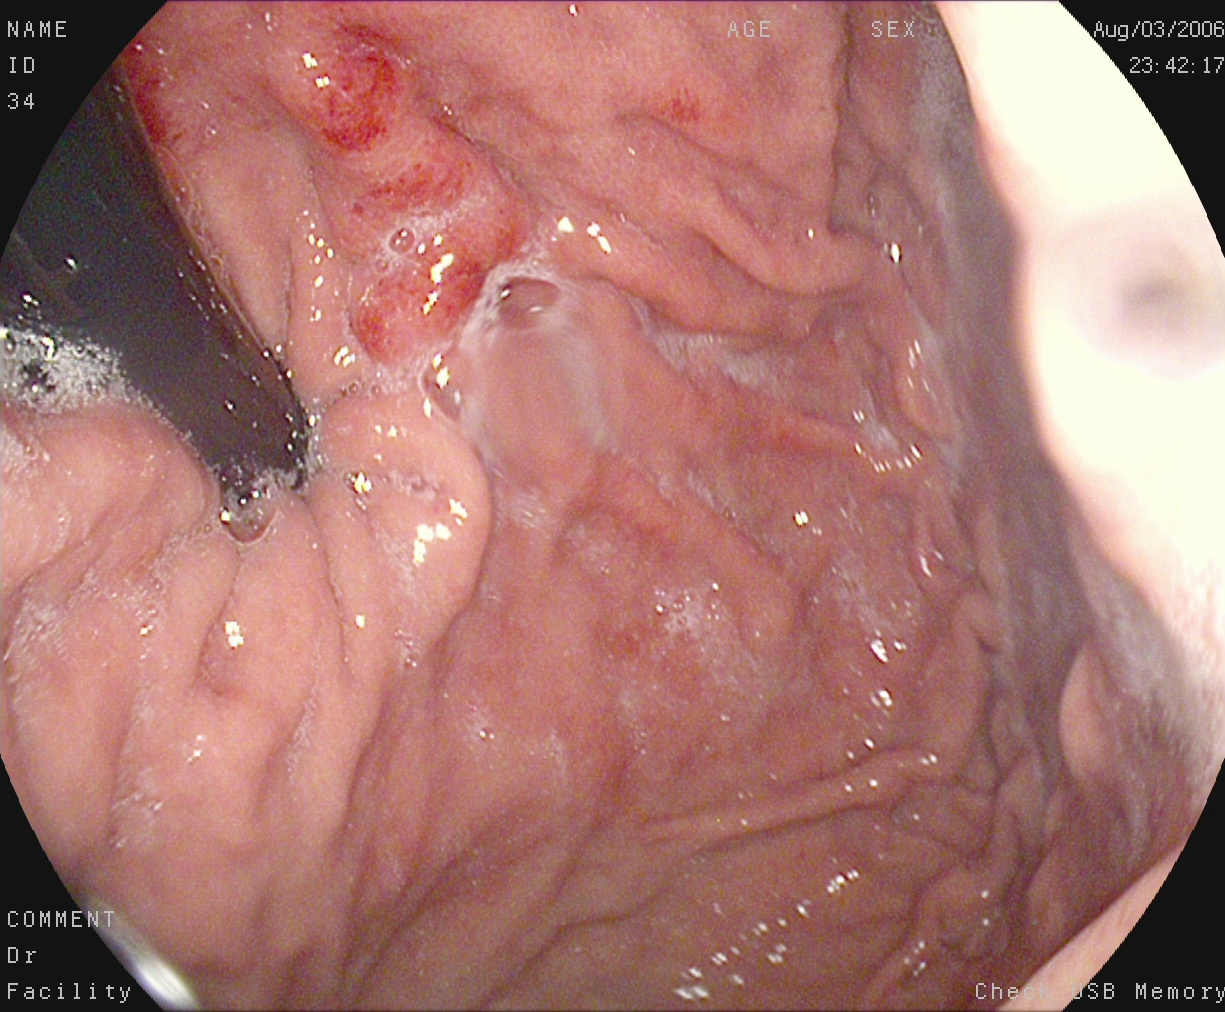modality: upper-GI endoscopy; tract: upper GI tract; finding: stomach in retroflexion